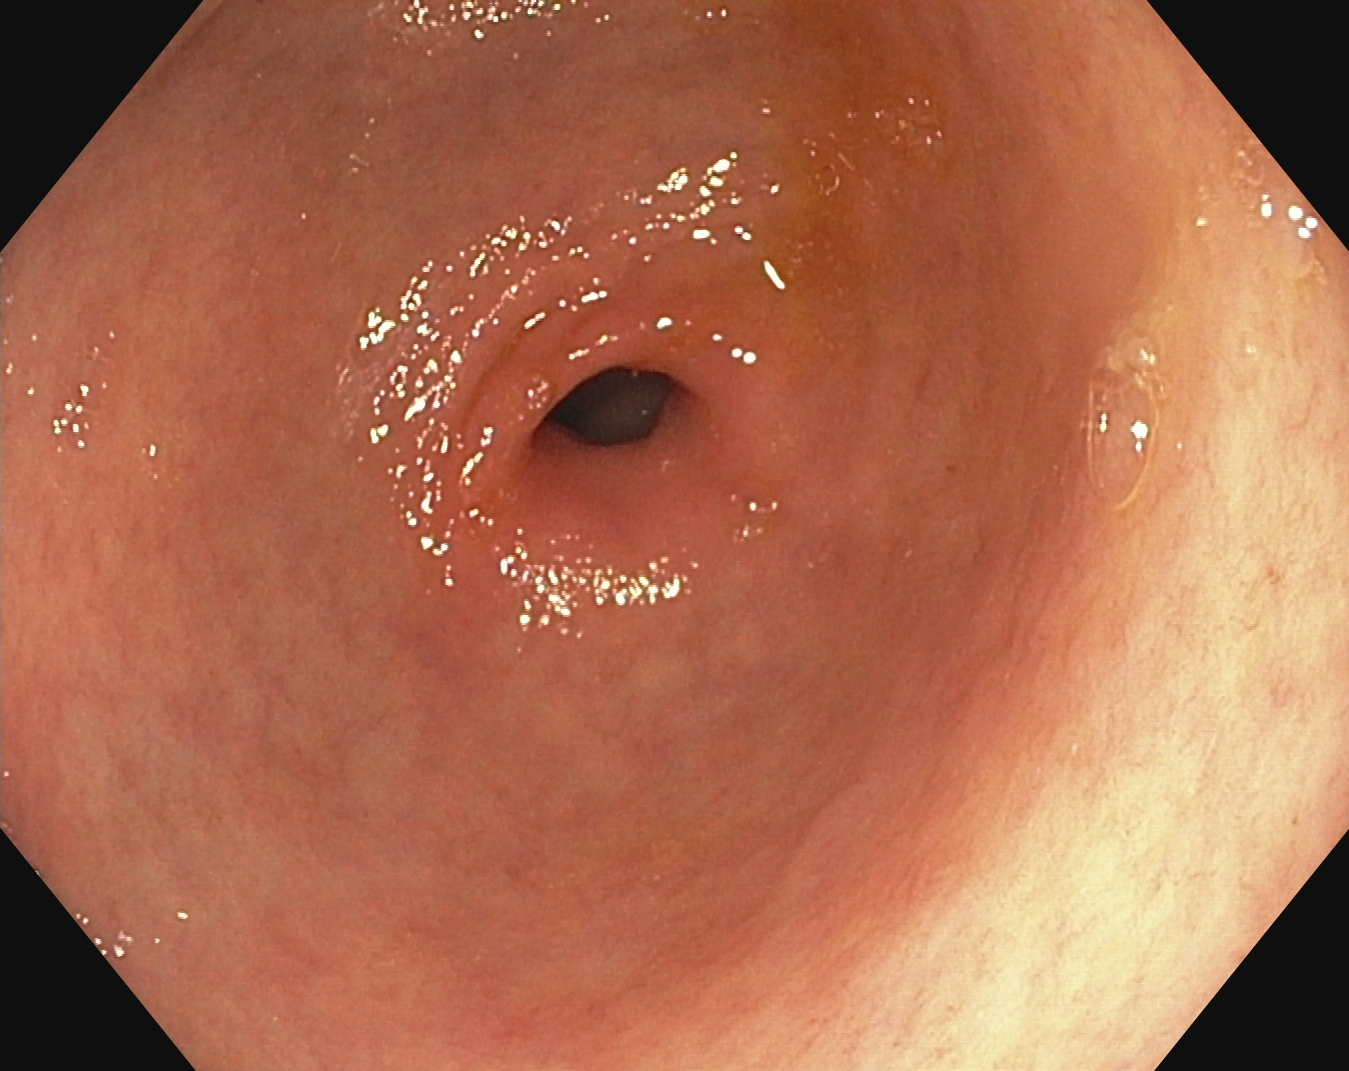Pylorus.